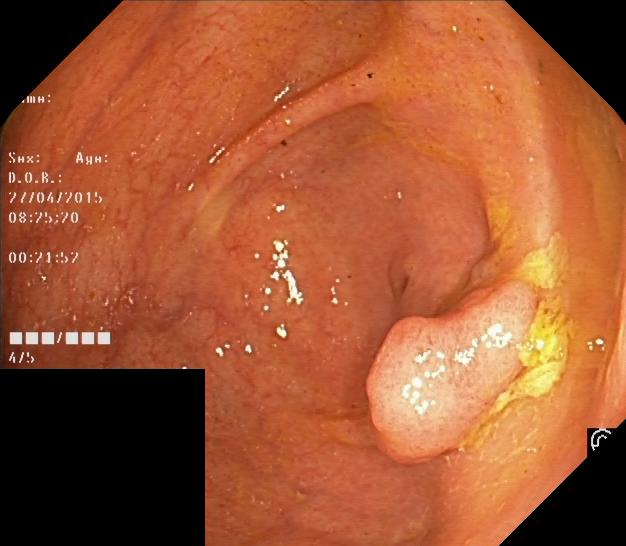Lower-GI endoscopy — colorectal polyp(s).